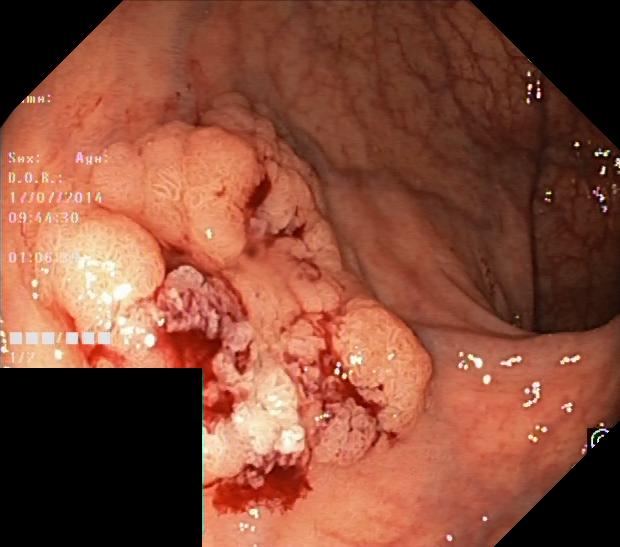{"modality": "lower gastrointestinal endoscopy", "finding": "colorectal polyp(s)"}